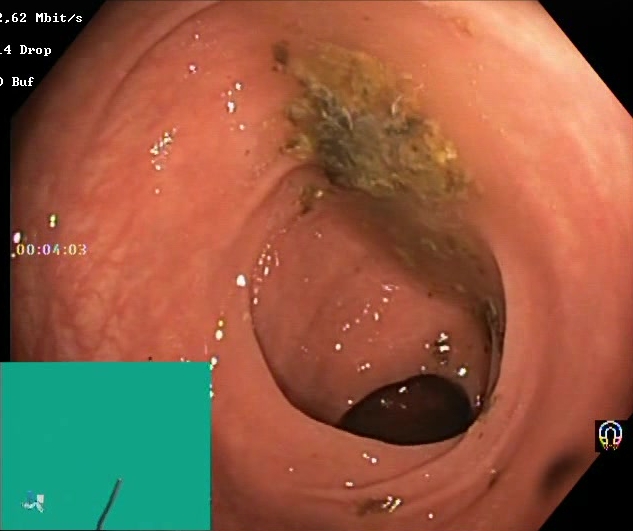{"modality": "lower-GI endoscopy", "tract": "lower GI tract", "finding": "BBPS score 0\u20131 (inadequate preparation)"}